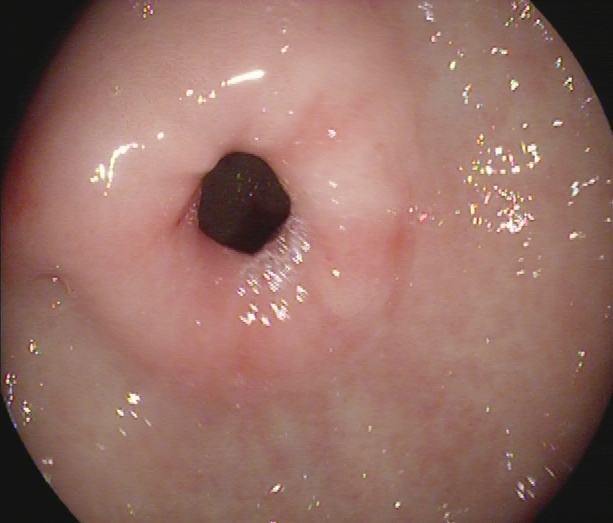This endoscopy frame of the upper GI tract shows pylorus.